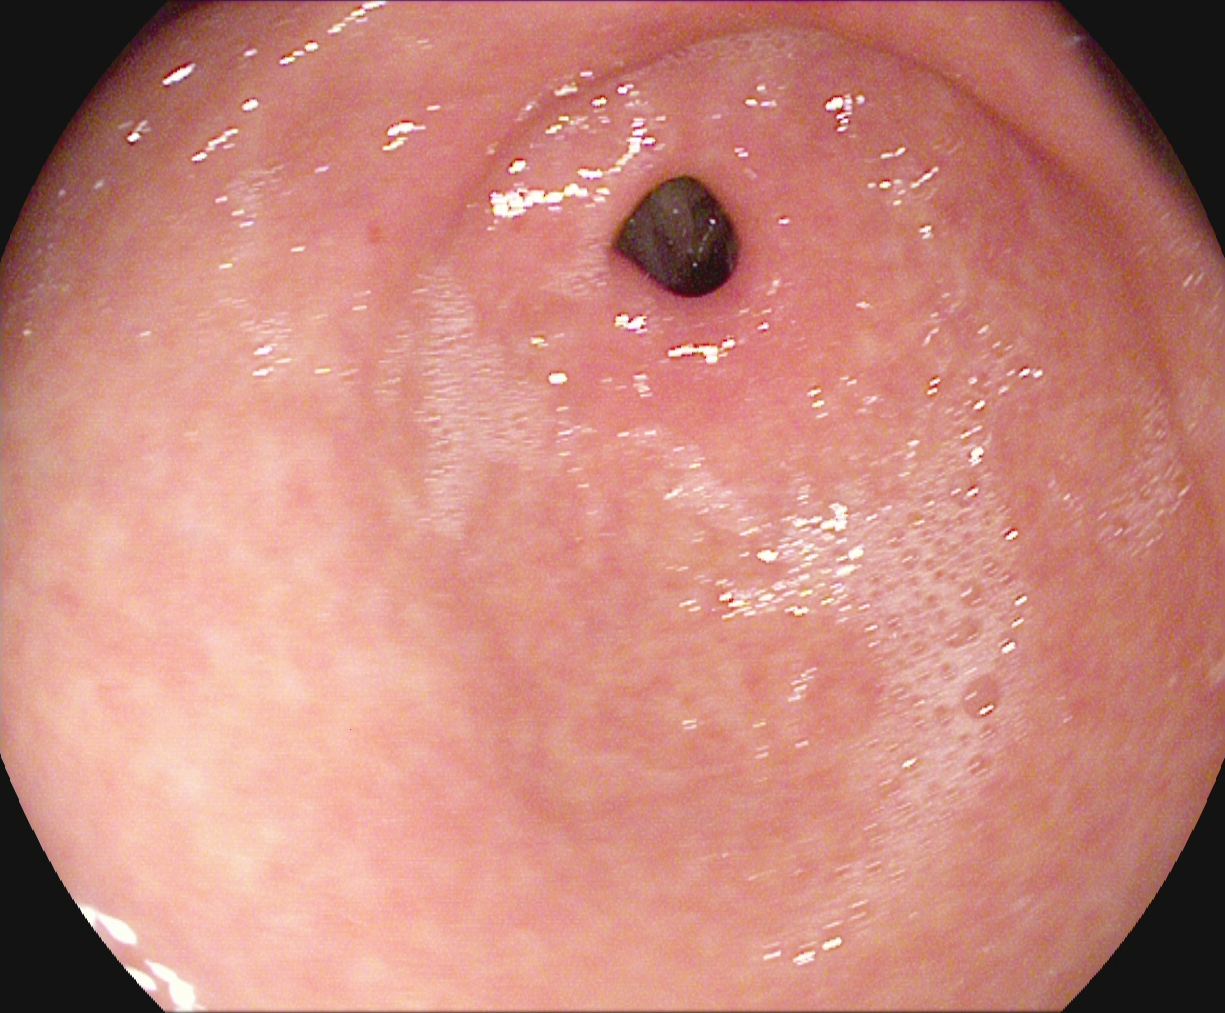pylorus.